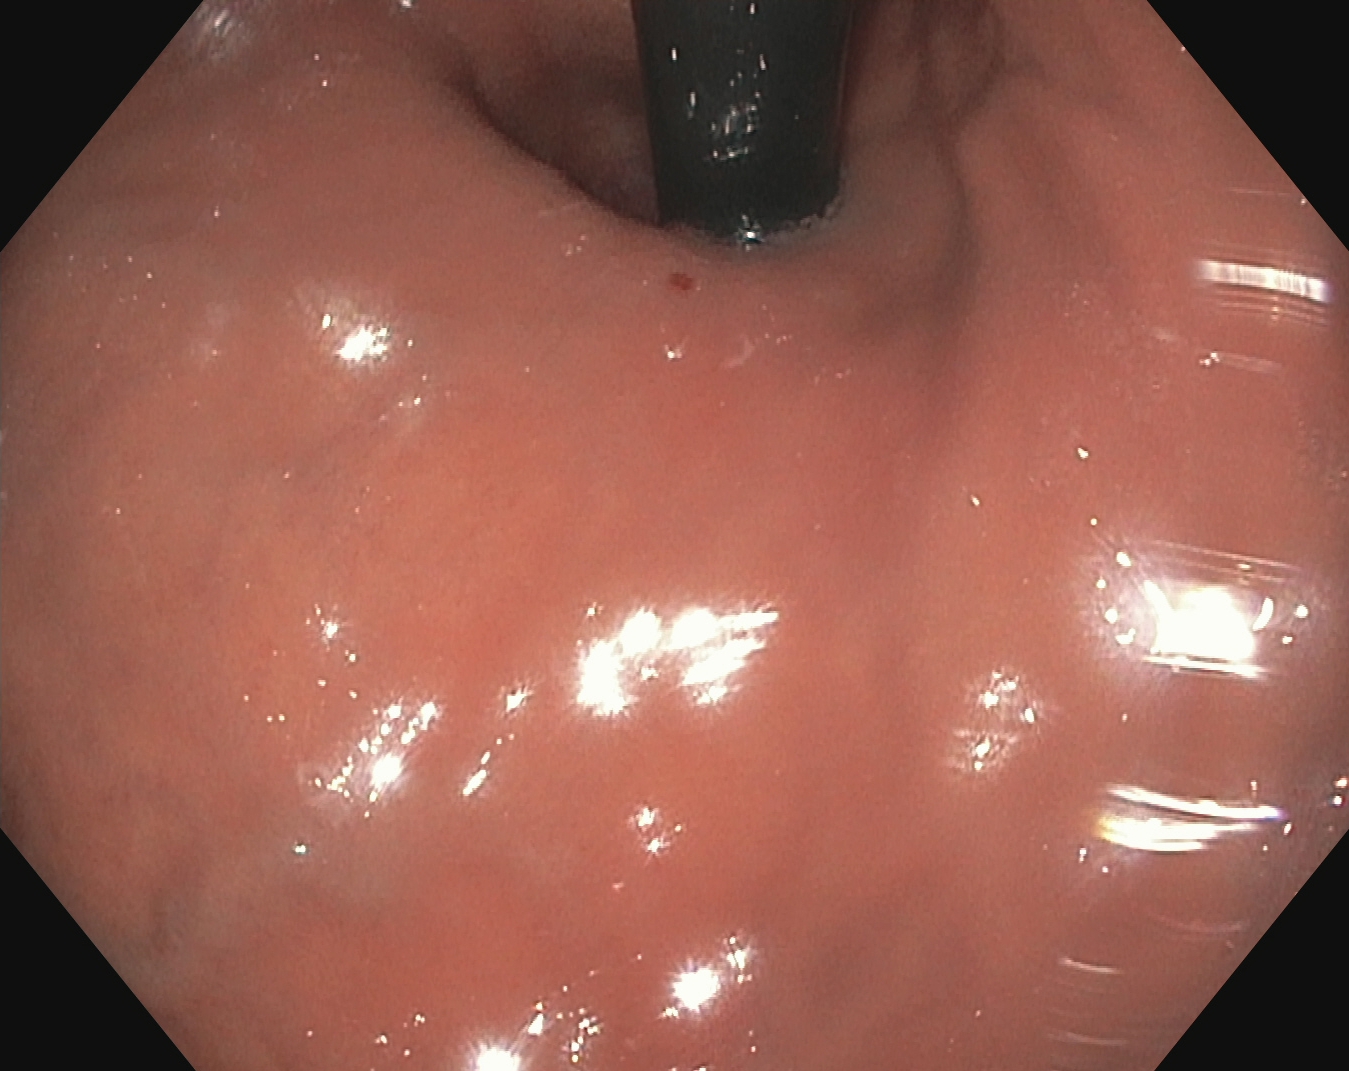Upper-GI endoscopy — stomach in retroflexion.